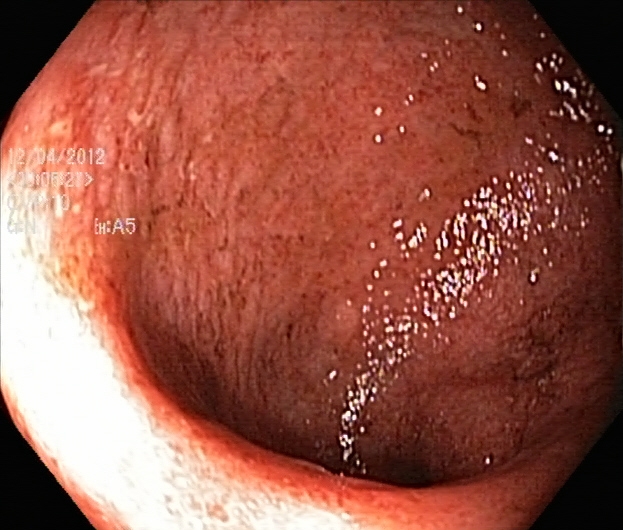{"modality": "lower gastrointestinal endoscopy", "category": "pathological finding", "finding": "ulcerative colitis, Mayo endoscopic subscore 2"}